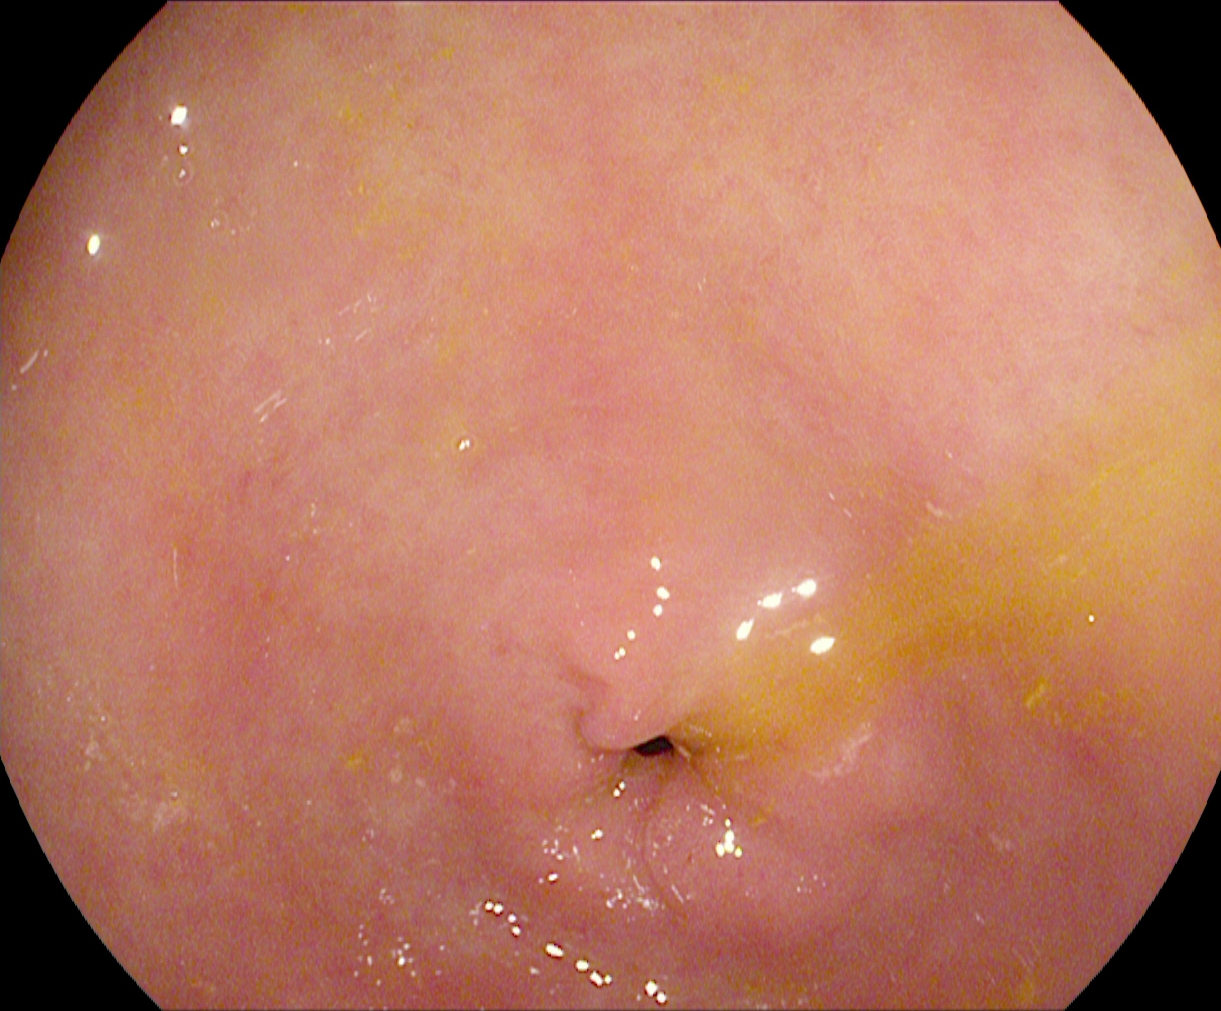This endoscopic image of the upper GI tract shows pylorus.